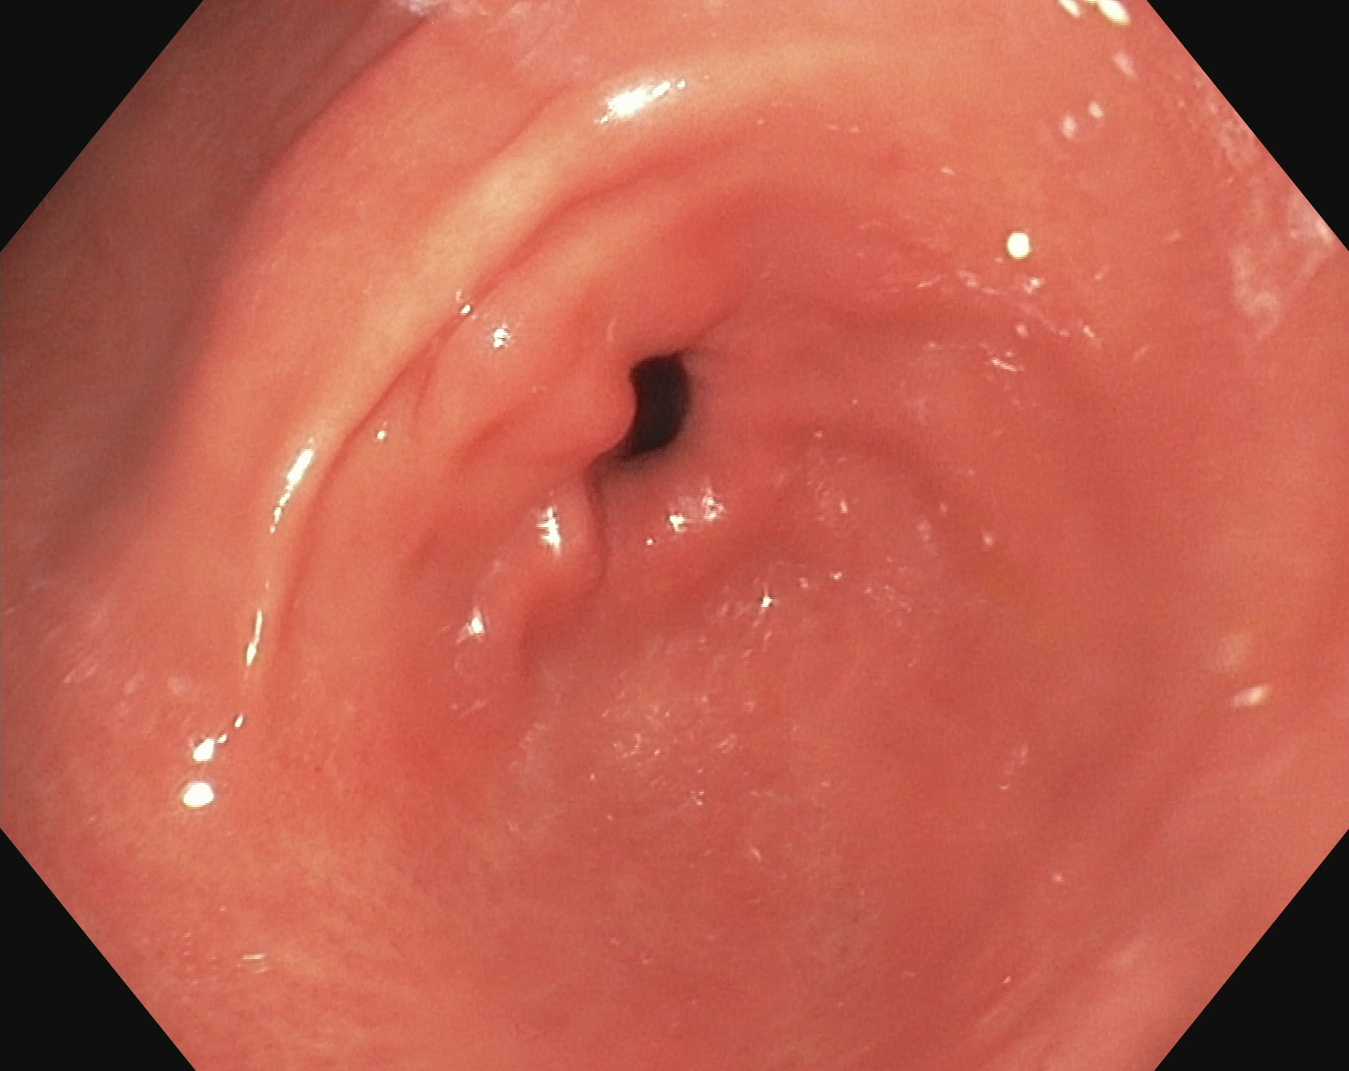PROCEDURE: EGD.
FINDINGS: Pylorus.